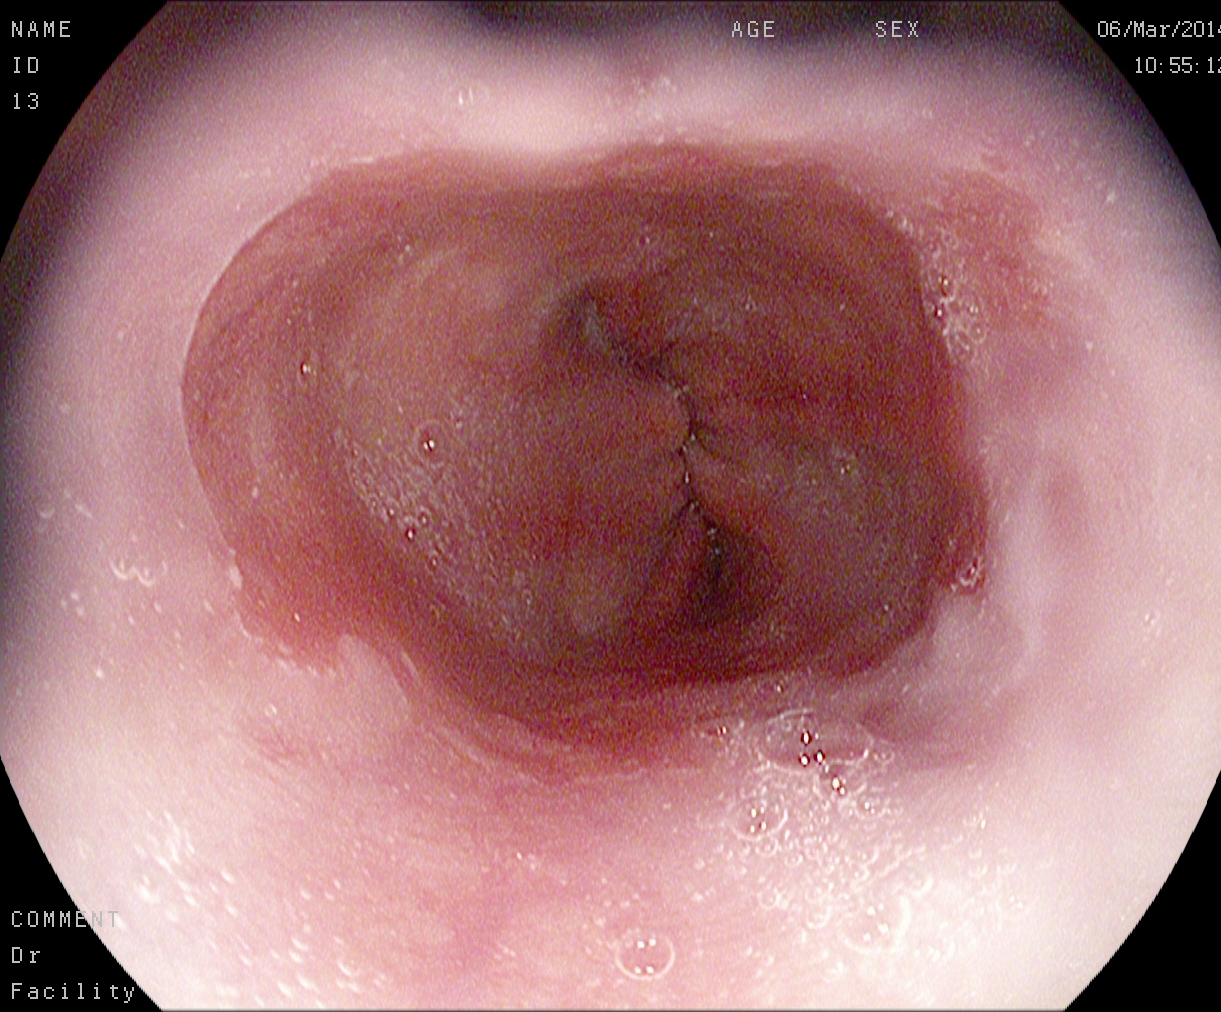This endoscopy frame of the upper GI tract shows Barrett's esophagus, short segment.